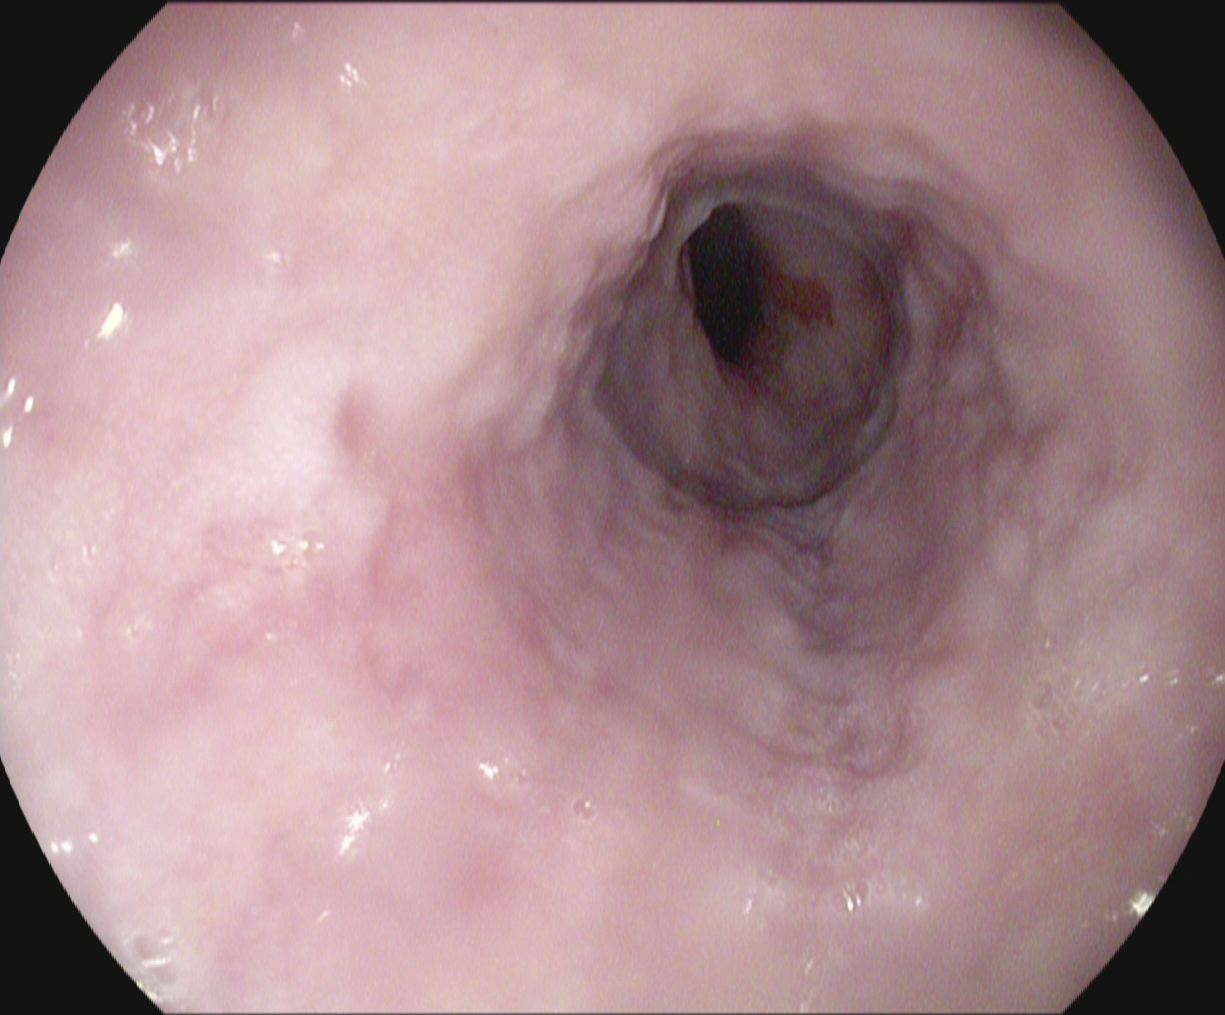EGD. Pathological finding. Finding: reflux esophagitis, Los Angeles grade A.